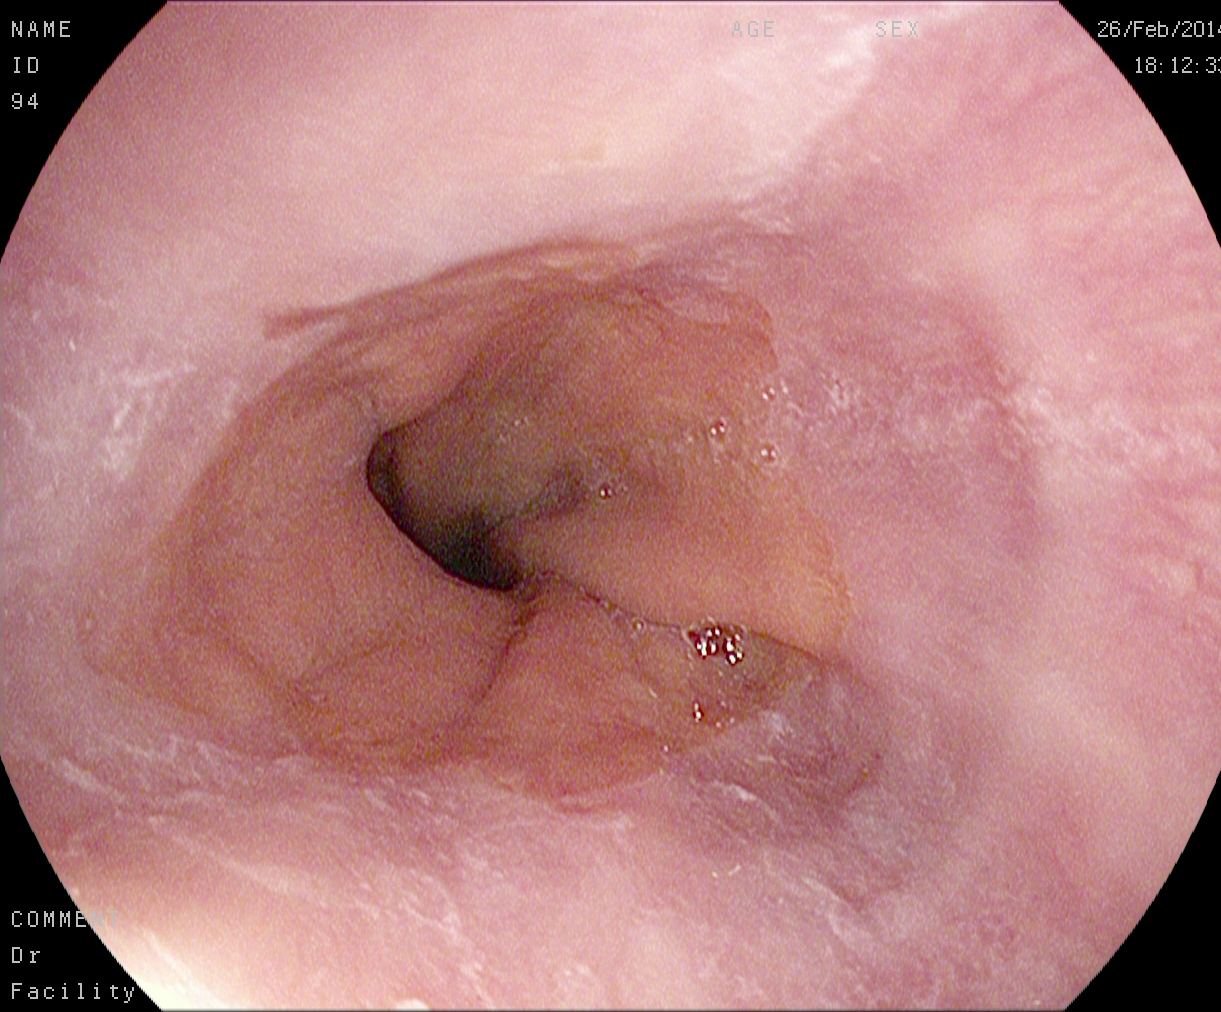{"modality": "upper-GI endoscopy", "finding": "Z-line (gastroesophageal junction)"}